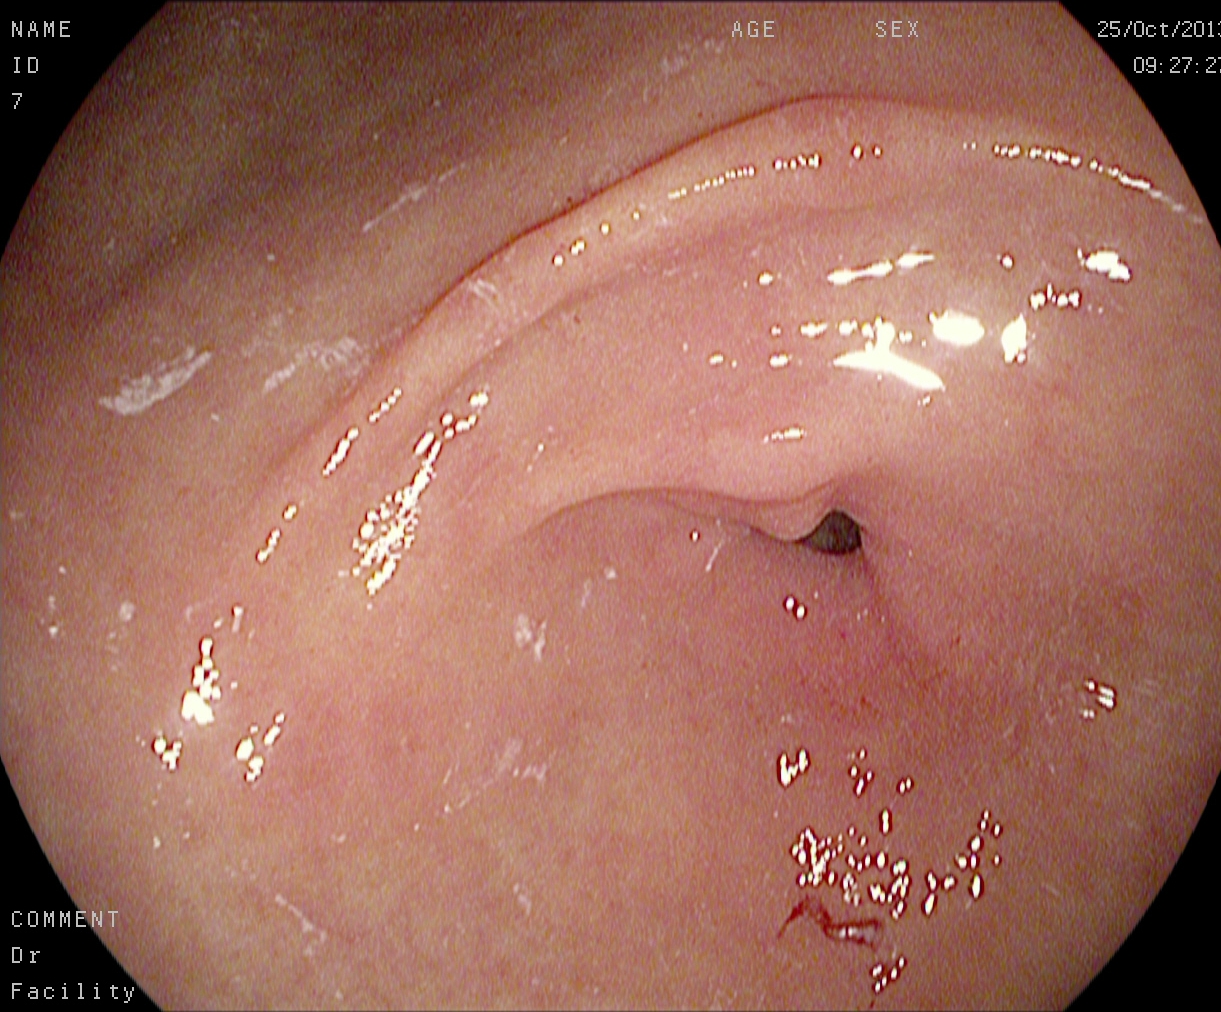This endoscopy frame of the upper GI tract shows pylorus.